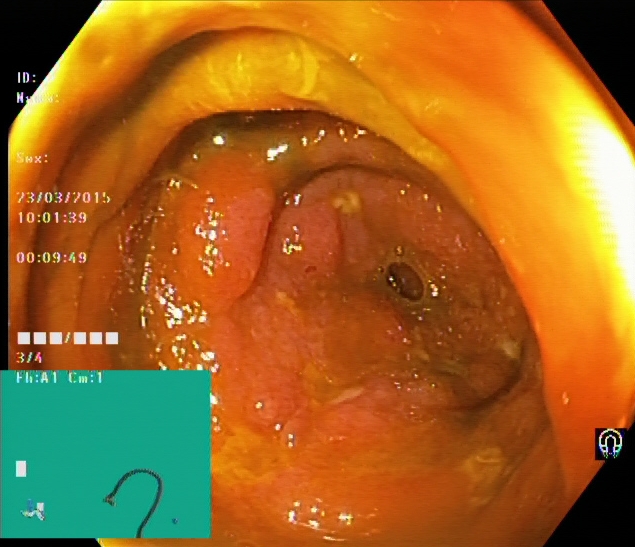Colonoscopy — cecum.